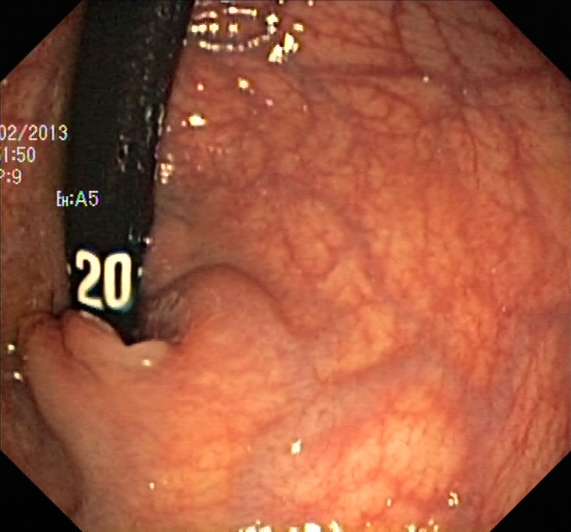PROCEDURE: Lower-GI endoscopy.
FINDINGS: Rectum in retroflexion.